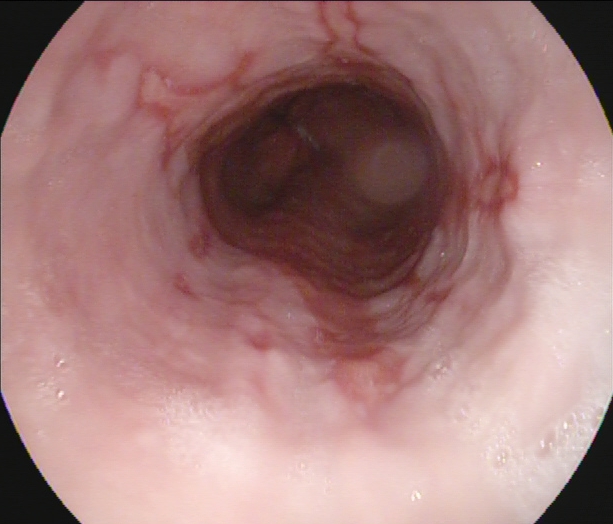Endoscopic frame of the upper GI tract showing reflux esophagitis, LA grade B–D.